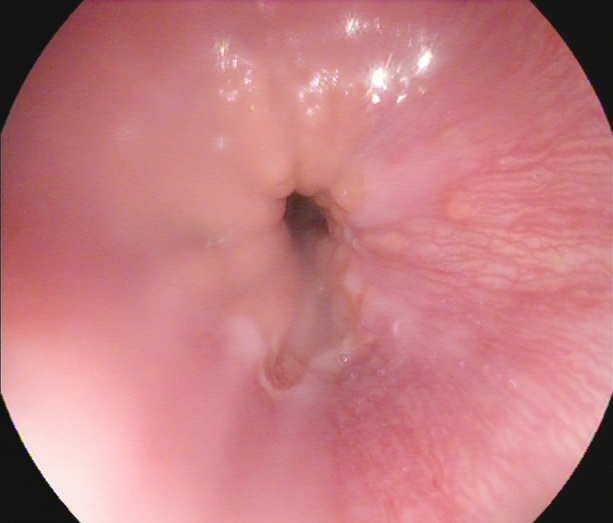Z-line (gastroesophageal junction).